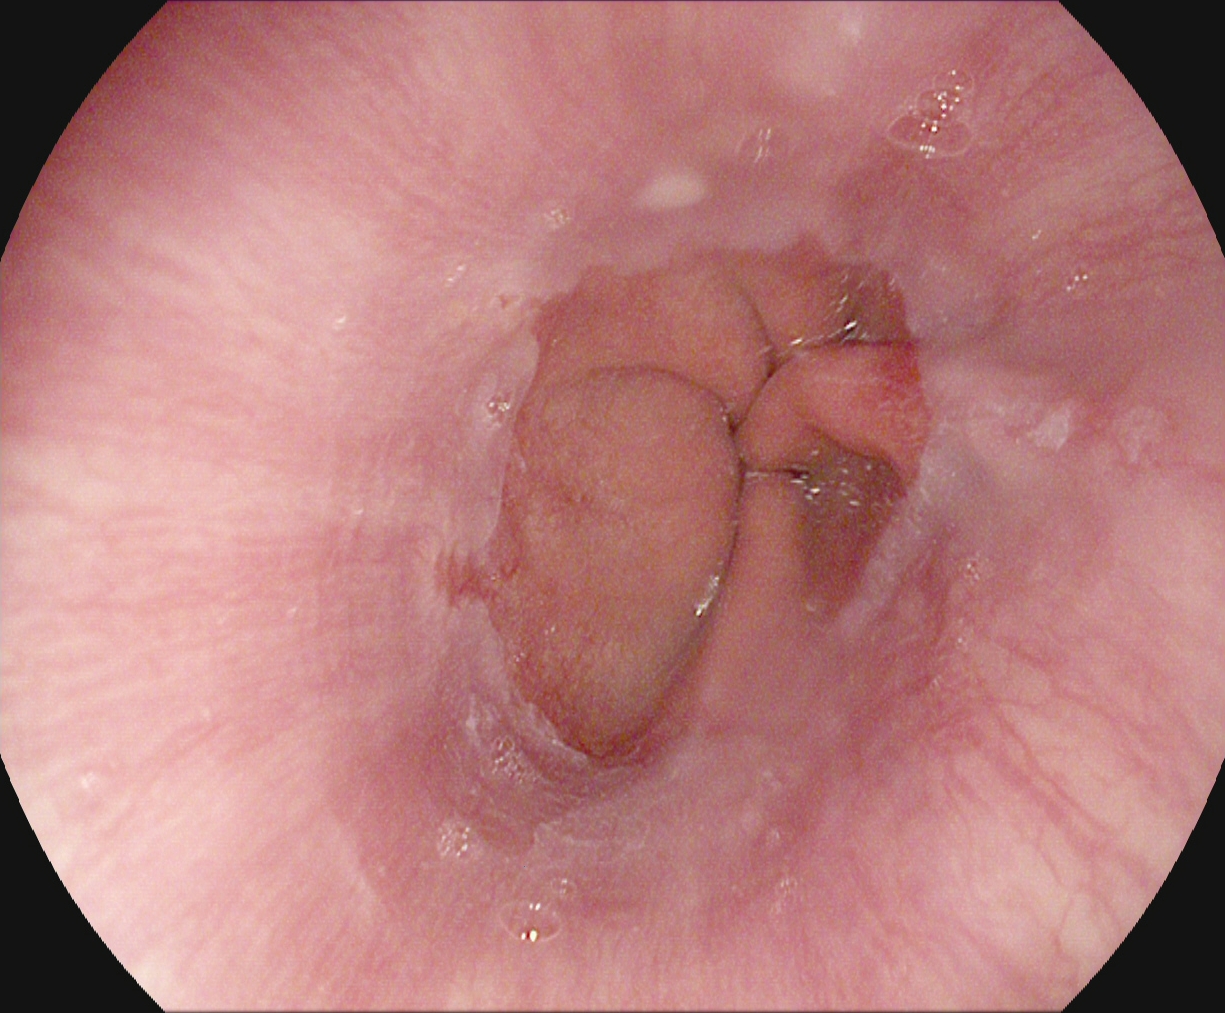PROCEDURE: Esophagogastroduodenoscopy.
FINDINGS: Reflux esophagitis, LA grade A.